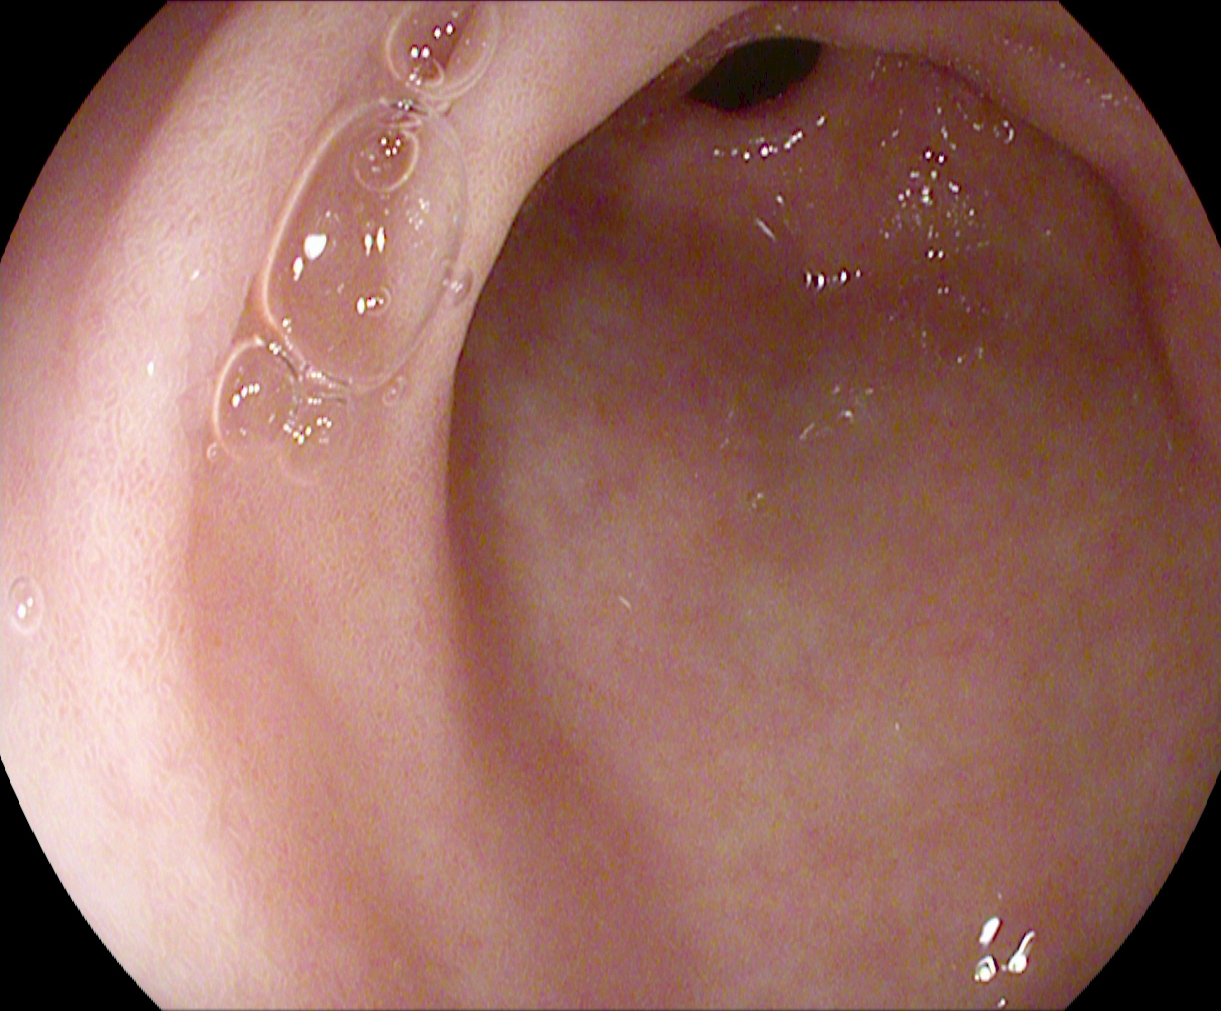modality: upper-GI endoscopy; tract: upper GI tract; finding: pylorus